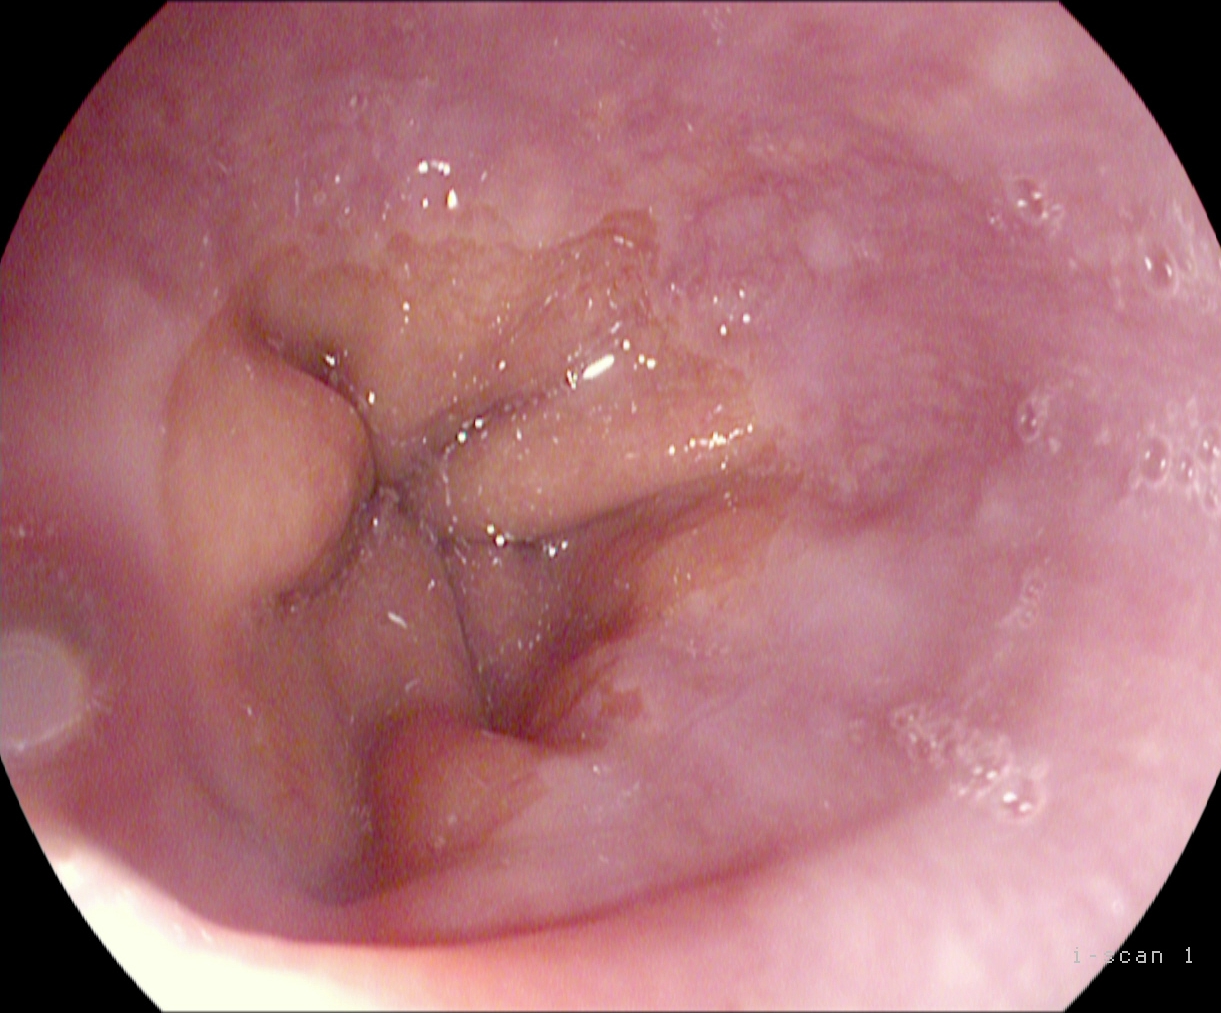Z-line (gastroesophageal junction).